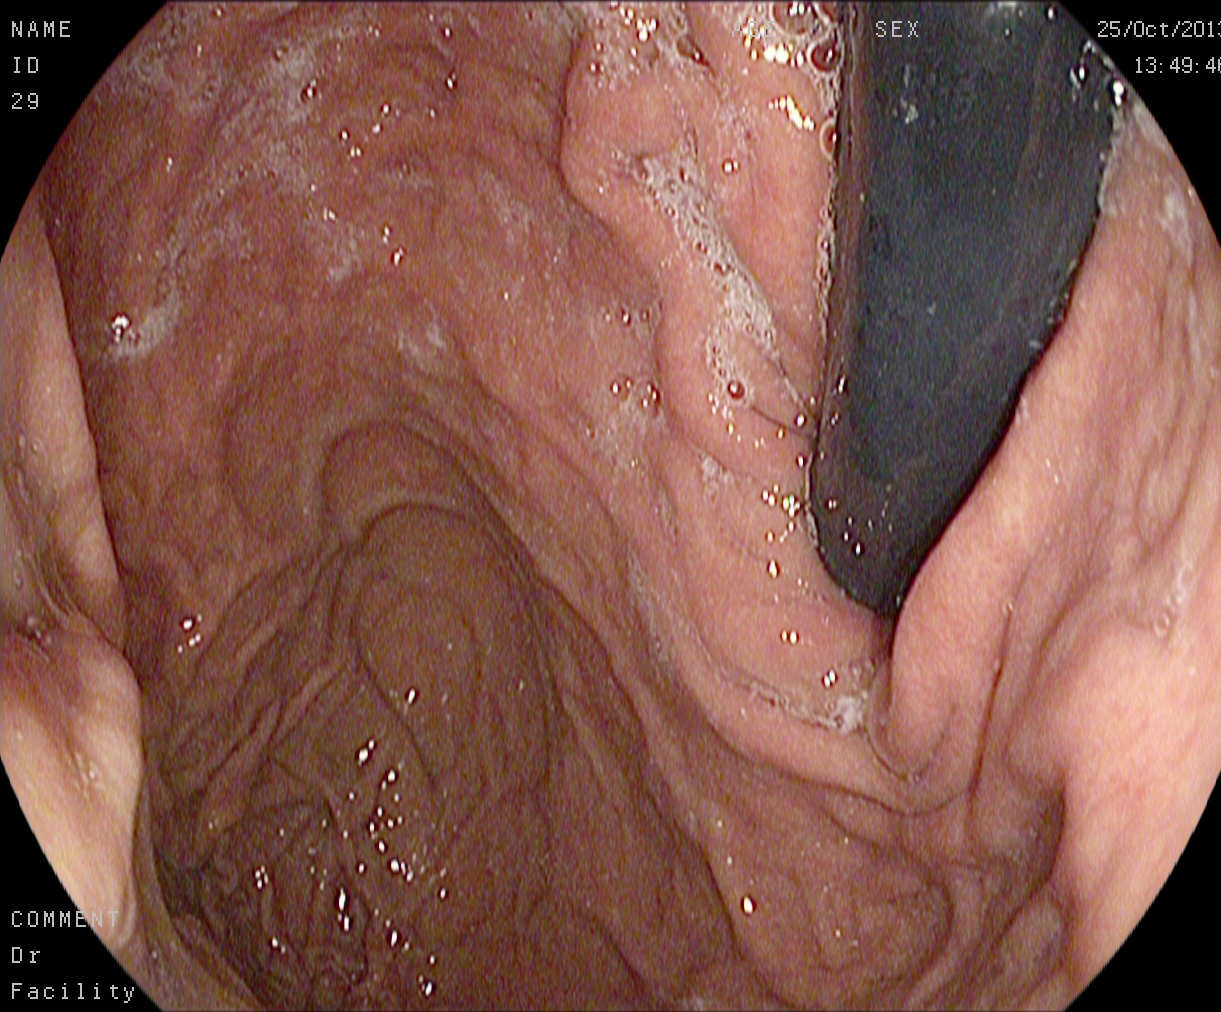Gastroscopy — stomach in retroflexion.